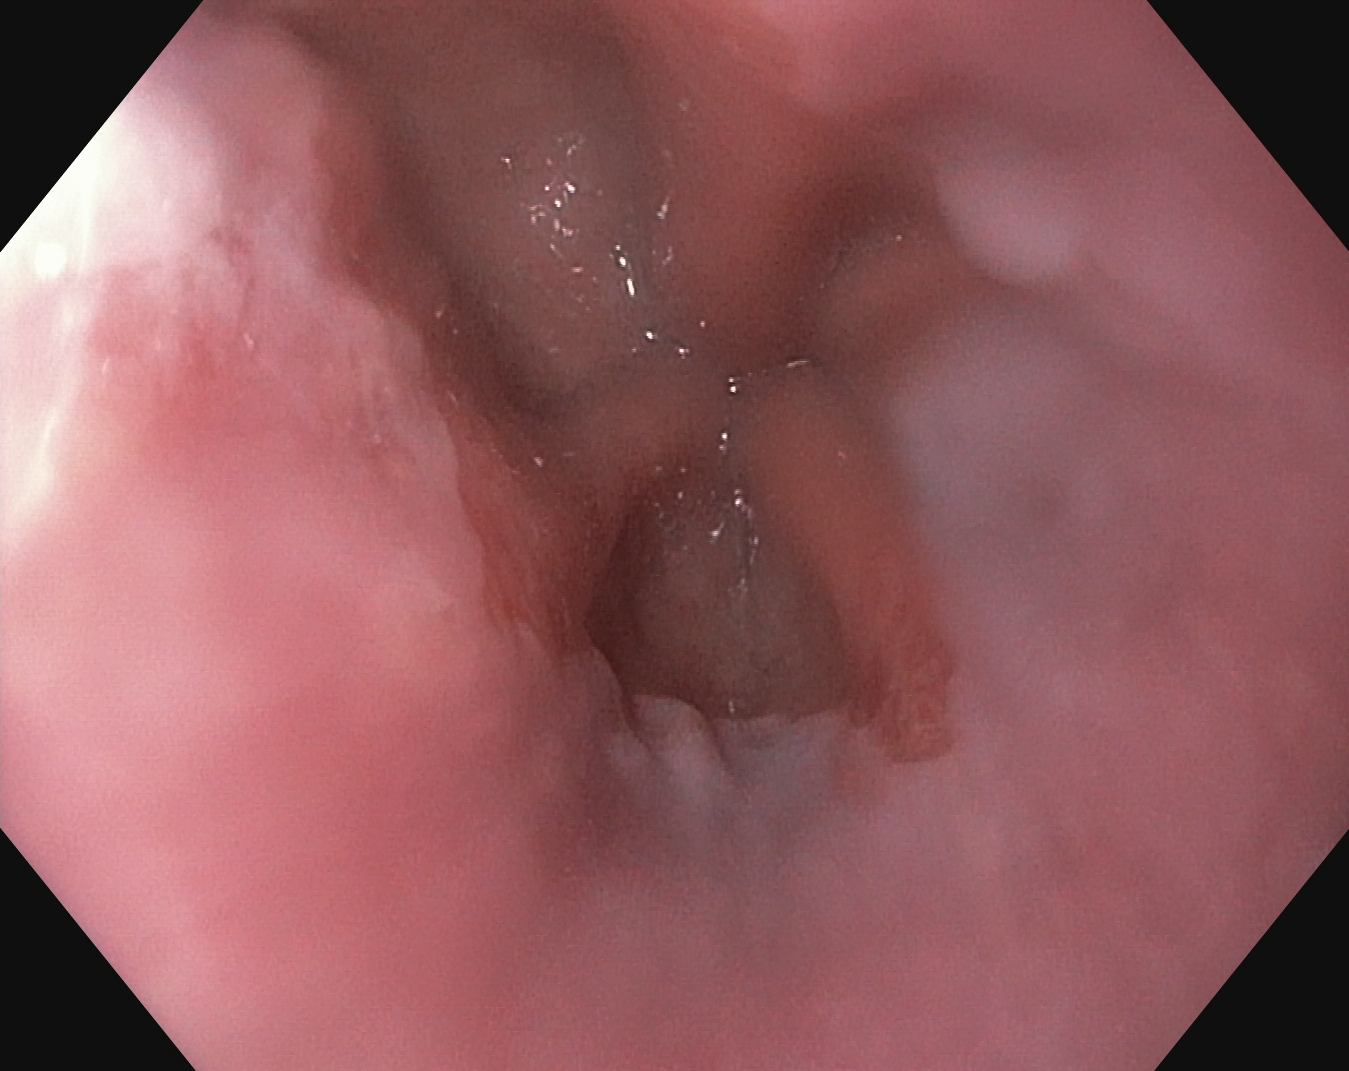Esophagogastroduodenoscopy — Z-line (gastroesophageal junction).